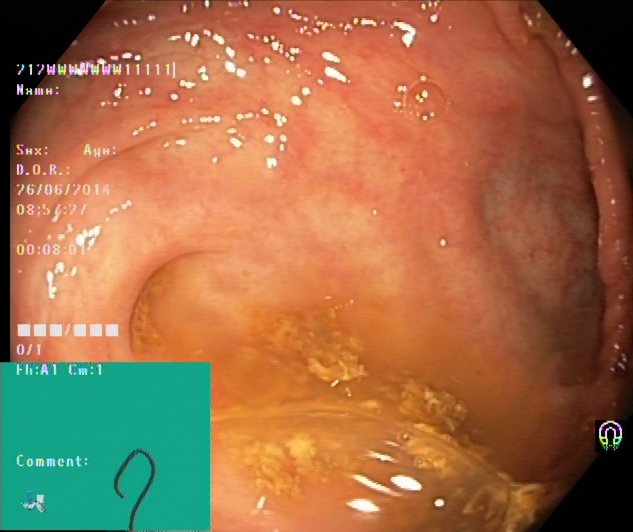PROCEDURE: Colonoscopy.
CATEGORY: Anatomical landmark.
FINDINGS: Cecum.